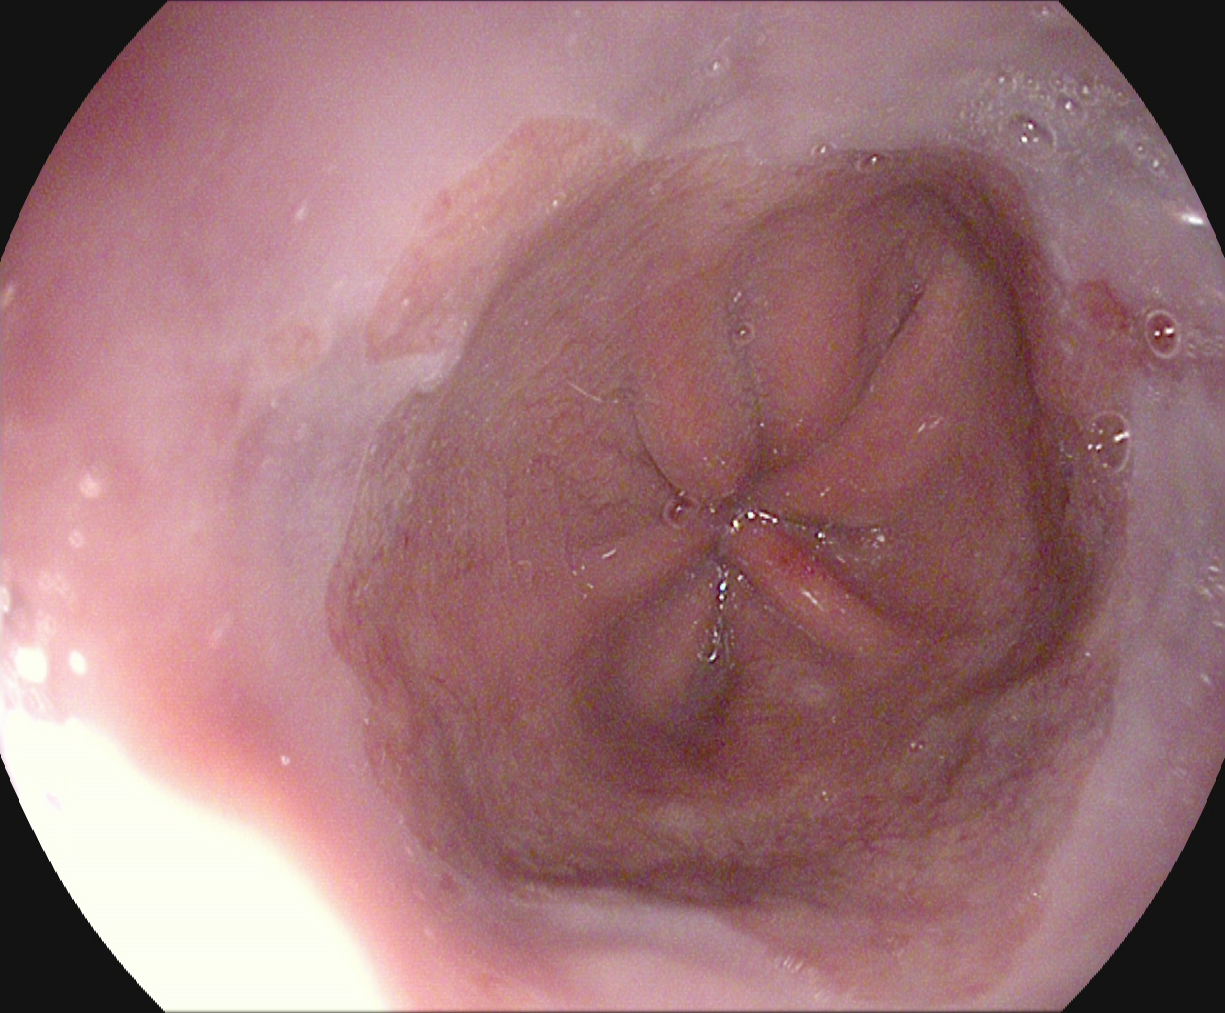modality: gastroscopy | tract: upper GI tract | finding: Barrett's esophagus, short segment